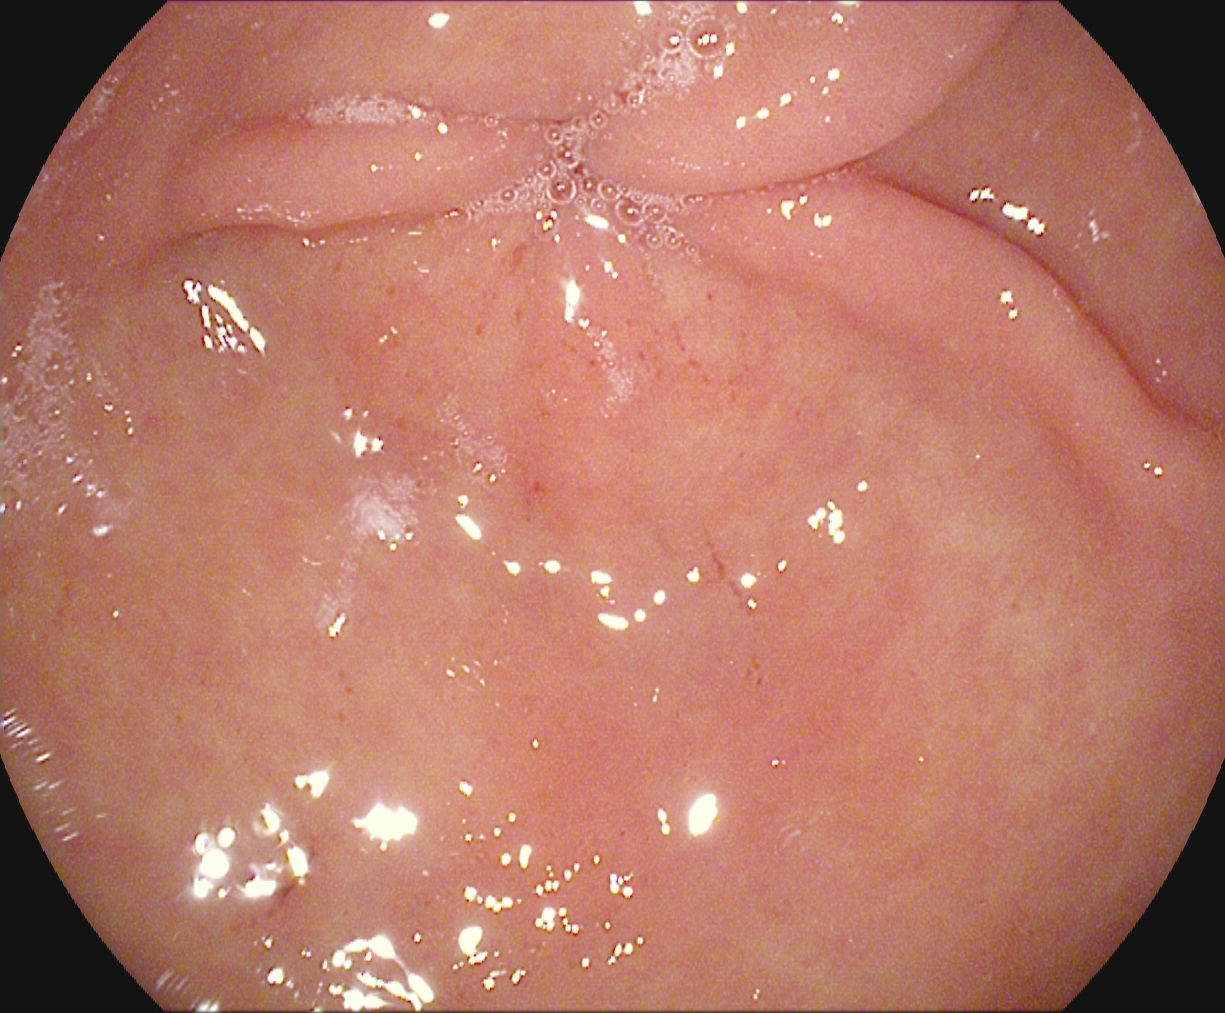modality: esophagogastroduodenoscopy
tract: upper GI tract
category: anatomical landmark
finding: pylorus